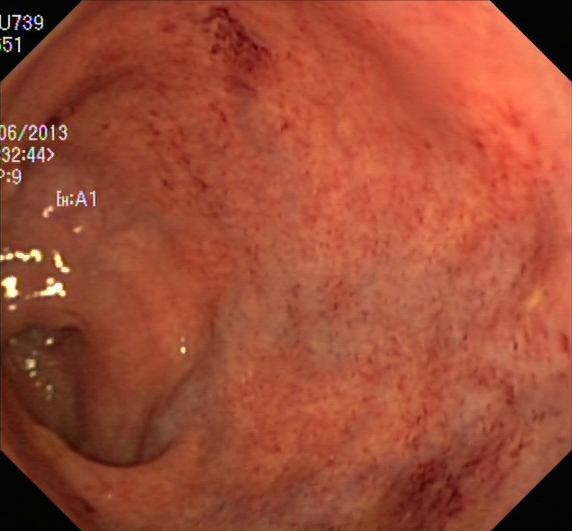PROCEDURE: Colonoscopy.
CATEGORY: Pathological finding.
FINDINGS: Ulcerative colitis, Mayo endoscopic subscore 1.